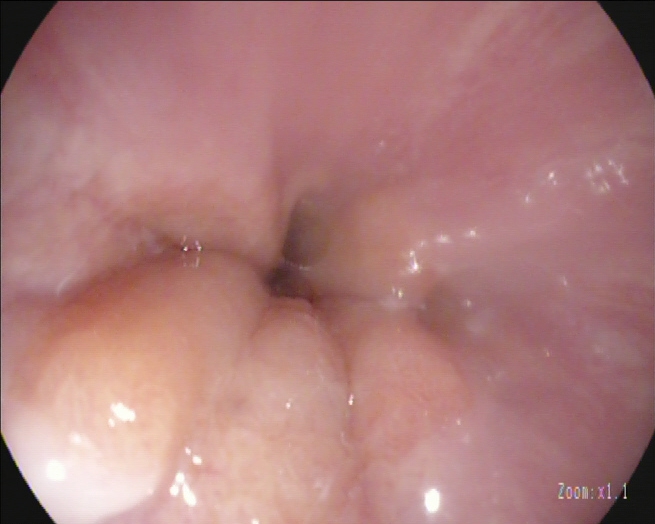Upper-GI endoscopy. Tract: upper GI tract. Finding: Z-line (gastroesophageal junction).